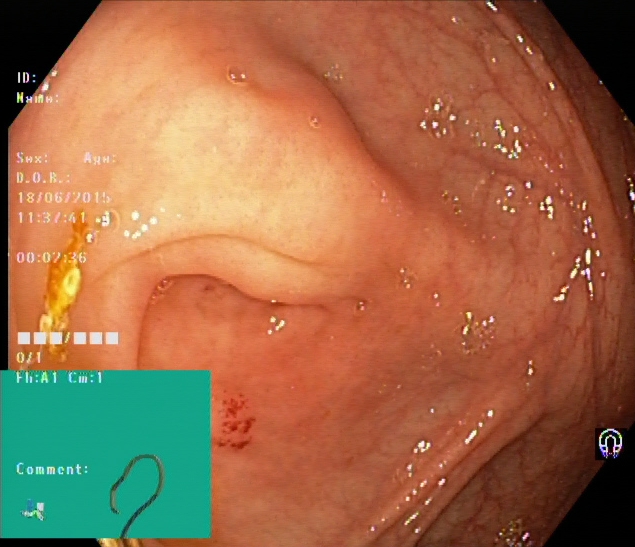This endoscopy frame of the lower GI tract shows cecum.